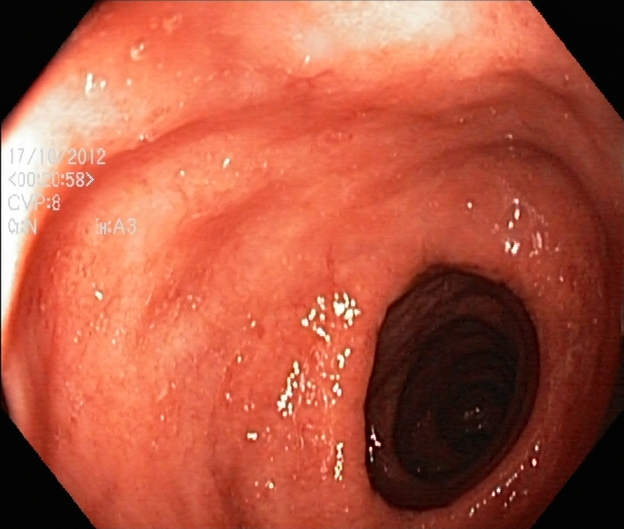Colonoscopy — ulcerative colitis, Mayo endoscopic subscore 2.